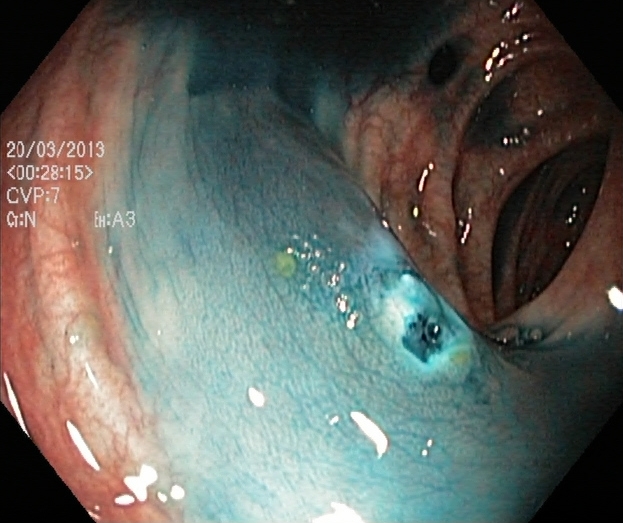Lower gastrointestinal endoscopy — dyed resection margins (post-polypectomy).